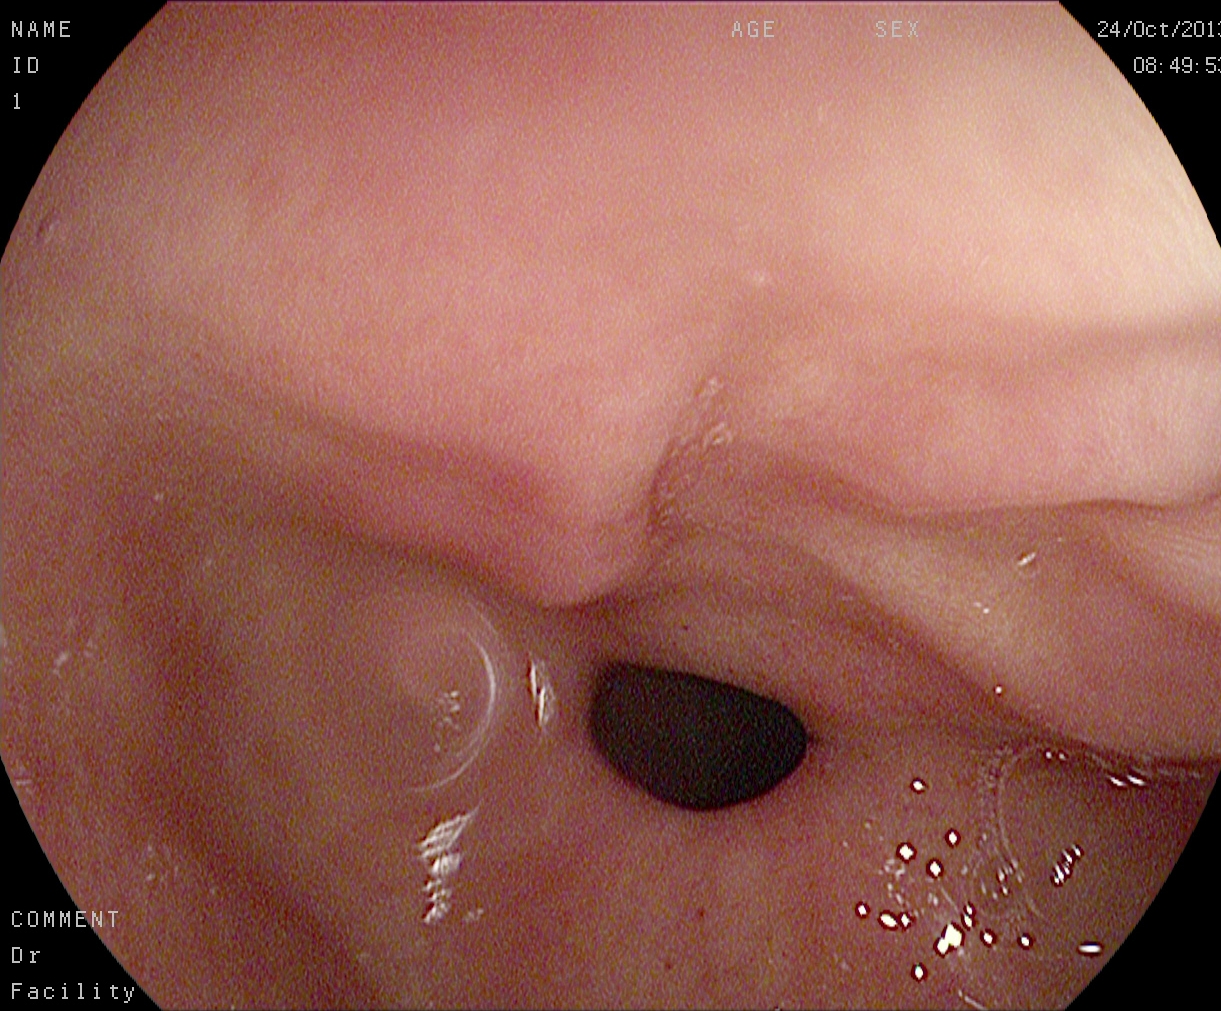EGD — pylorus.